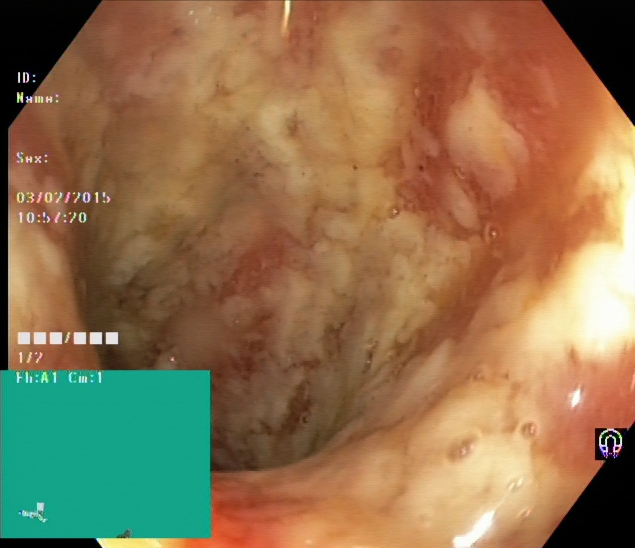Colonoscopy image showing ulcerative colitis, Mayo endoscopic subscore 3.